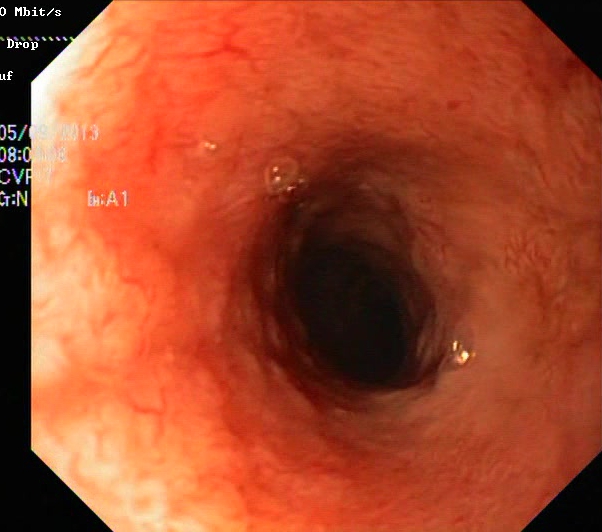Lower-GI endoscopy. Finding: ulcerative colitis, Mayo endoscopic subscore 2.